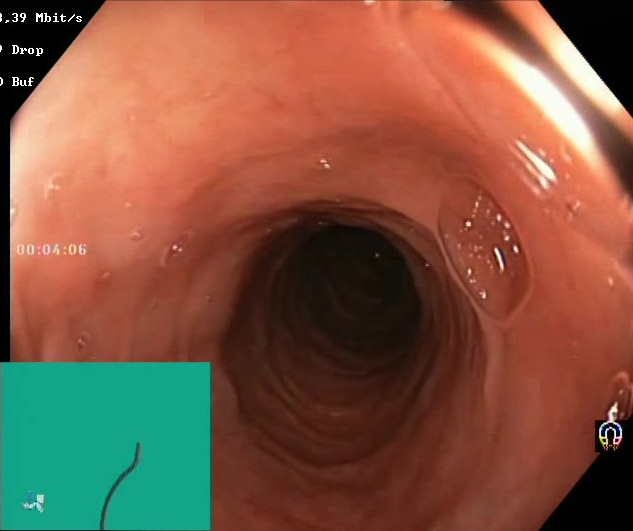Lower gastrointestinal endoscopy — Boston Bowel Preparation Scale score 2–3 (adequate preparation).